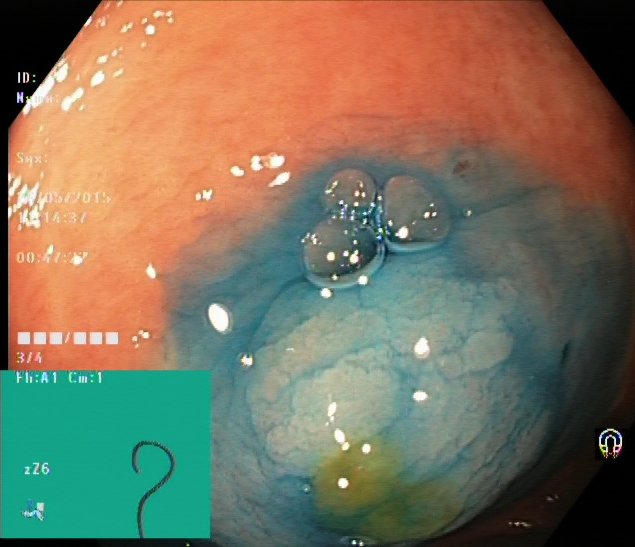This endoscopic image of the lower GI tract shows dyed and lifted polyp (pre-resection).